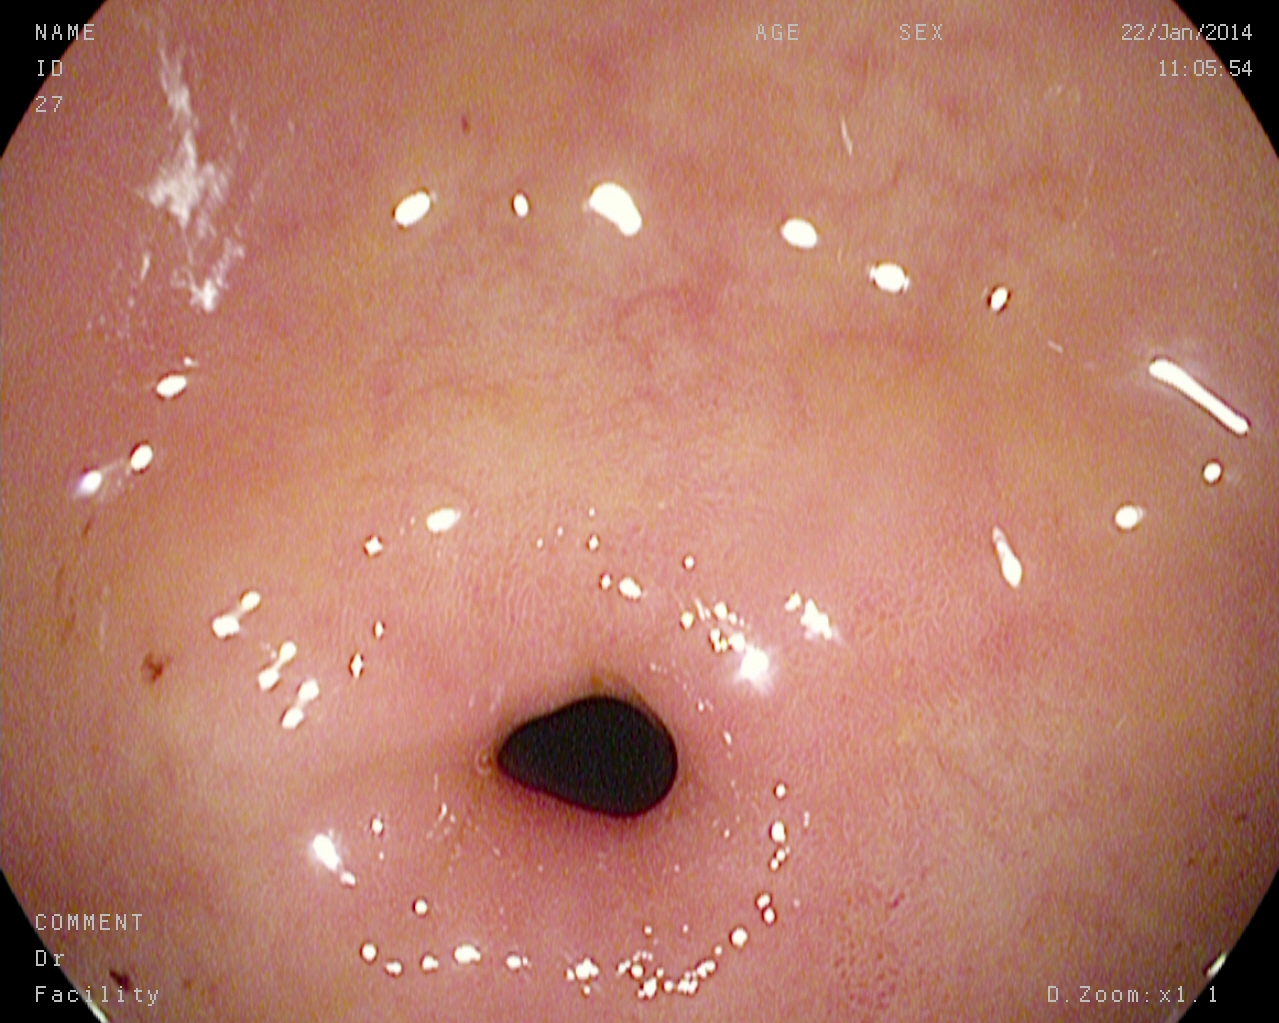Upper-GI endoscopy. Finding: pylorus.